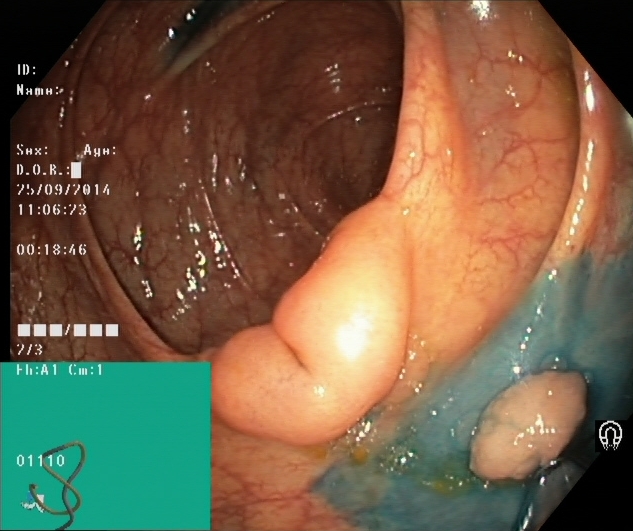Lower gastrointestinal endoscopy. Tract: lower GI tract. Finding: dyed and lifted polyp (pre-resection).